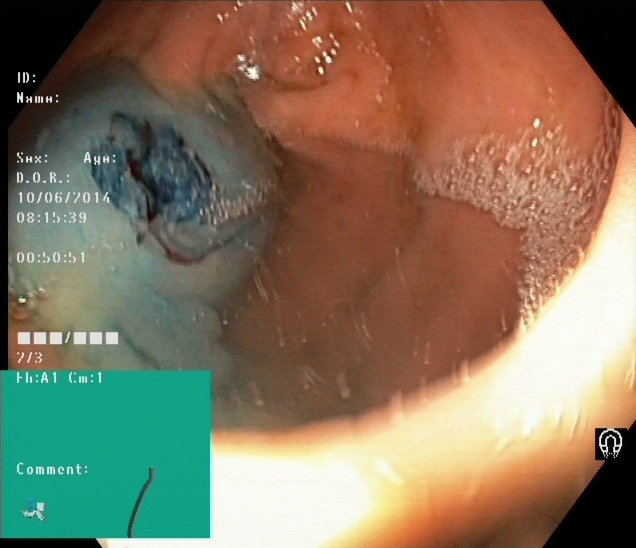Colonoscopy — dyed resection margins (post-polypectomy).